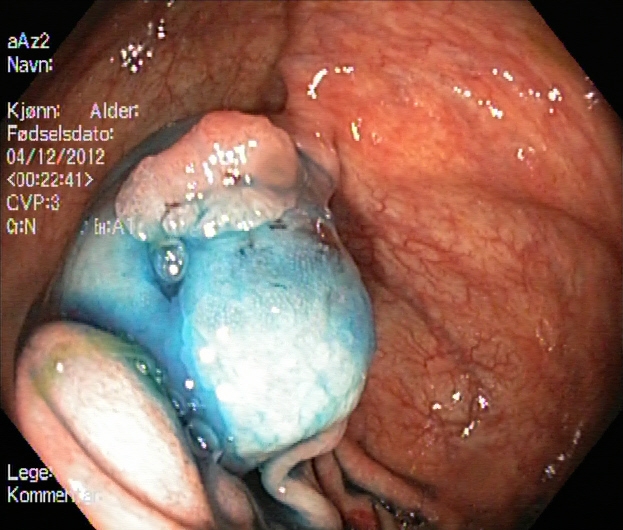Colonoscopy. Therapeutic intervention. Finding: dyed and lifted polyp (pre-resection).